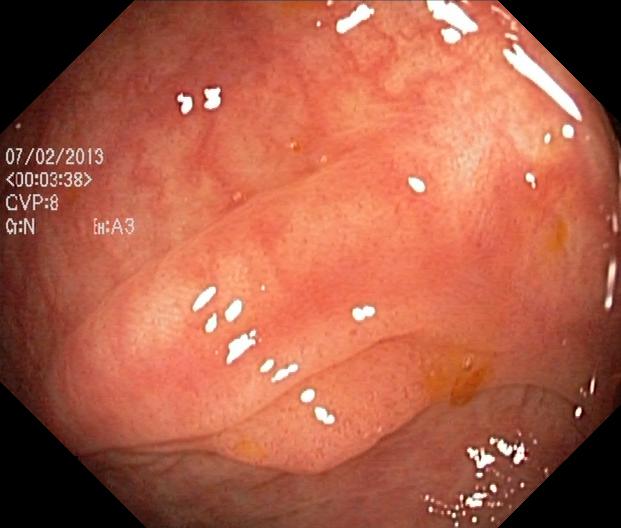Endoscopy image of the lower GI tract showing colorectal polyp(s).